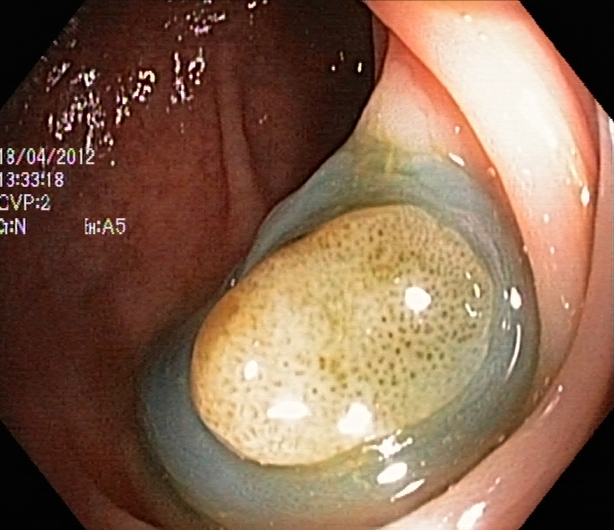{"modality": "colonoscopy", "tract": "lower GI tract", "category": "therapeutic intervention", "finding": "dyed and lifted polyp (pre-resection)"}